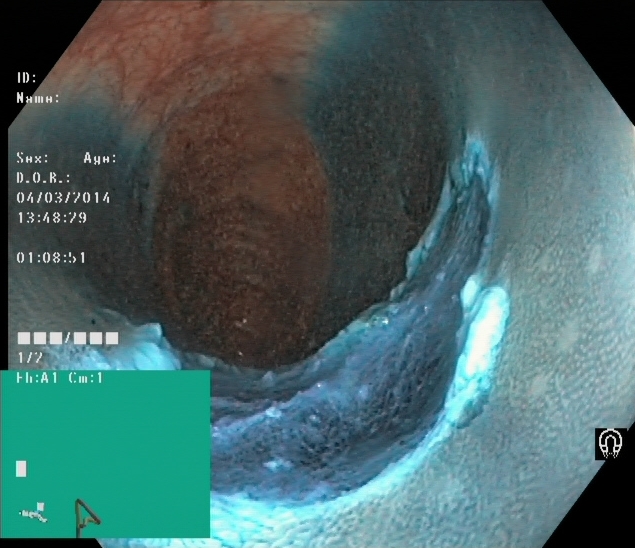modality: colonoscopy | finding: dyed resection margins (post-polypectomy)